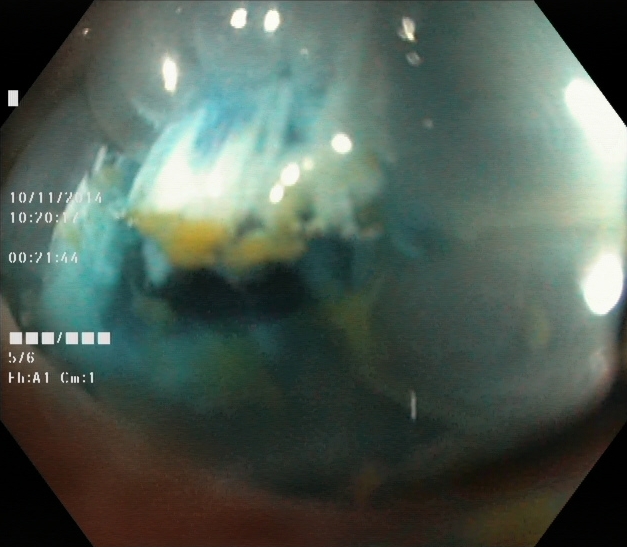Lower gastrointestinal endoscopy. Therapeutic intervention. Finding: dyed resection margins (post-polypectomy).